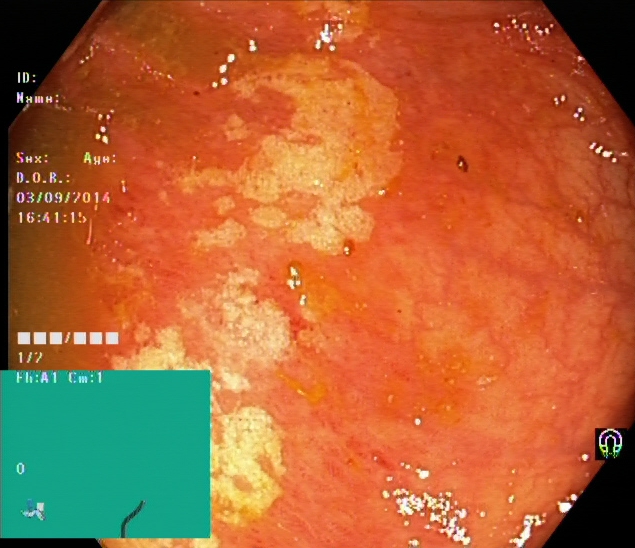This endoscopy frame of the lower GI tract shows ulcerative colitis, Mayo endoscopic subscore 1.